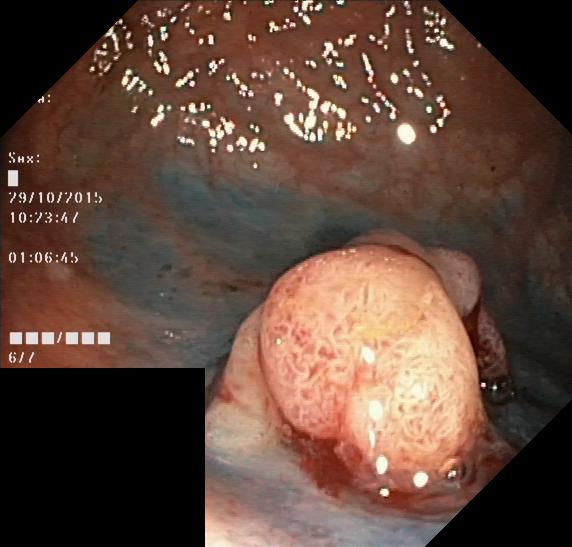modality: lower-GI endoscopy | category: pathological finding | finding: colorectal polyp(s)